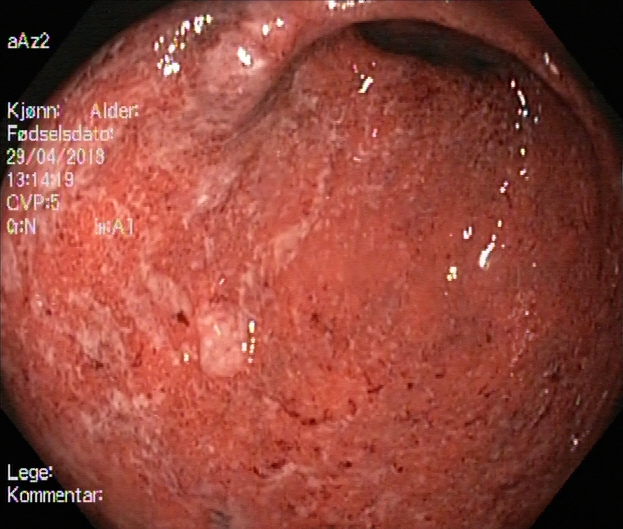This endoscopic image of the lower GI tract shows ulcerative colitis, Mayo endoscopic subscore 2.